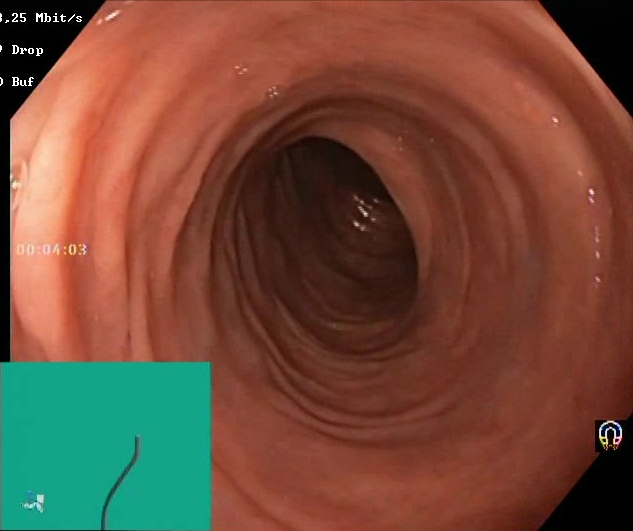Colonoscopy. Finding: Boston Bowel Preparation Scale score 2–3 (adequate preparation).